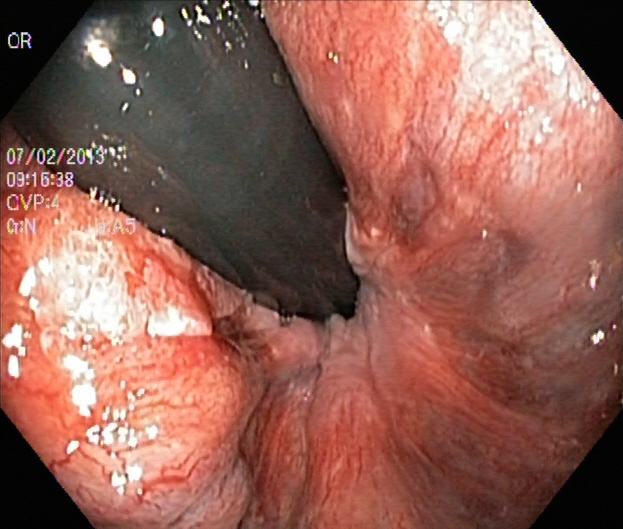Lower-GI endoscopy image showing rectum in retroflexion.